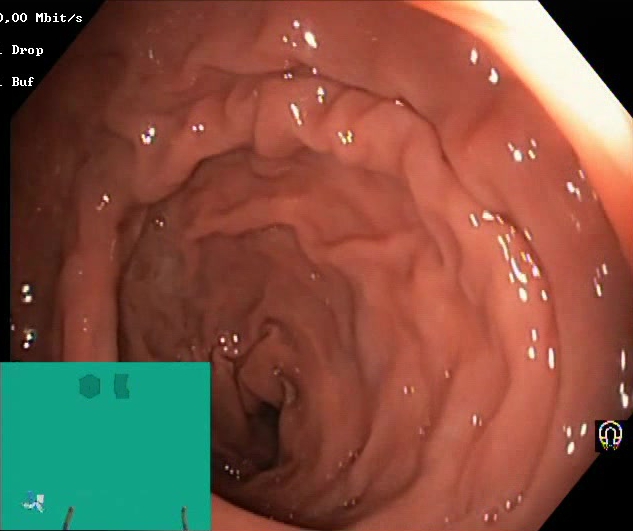Boston Bowel Preparation Scale score 2–3 (adequate preparation).